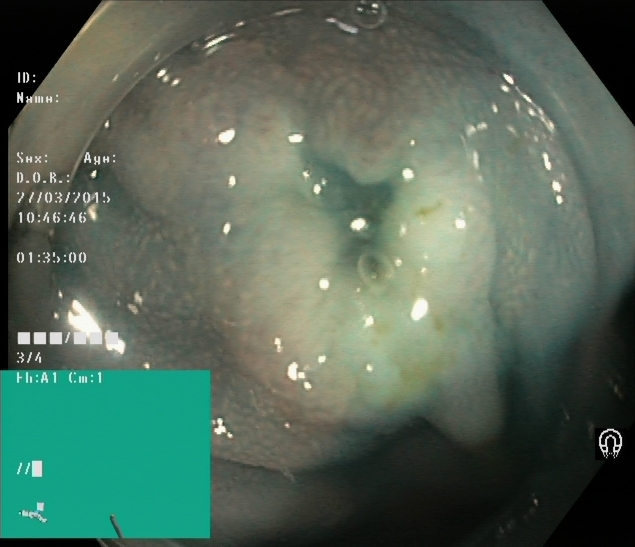Lower gastrointestinal endoscopy. Tract: lower GI tract. Finding: dyed and lifted polyp (pre-resection).